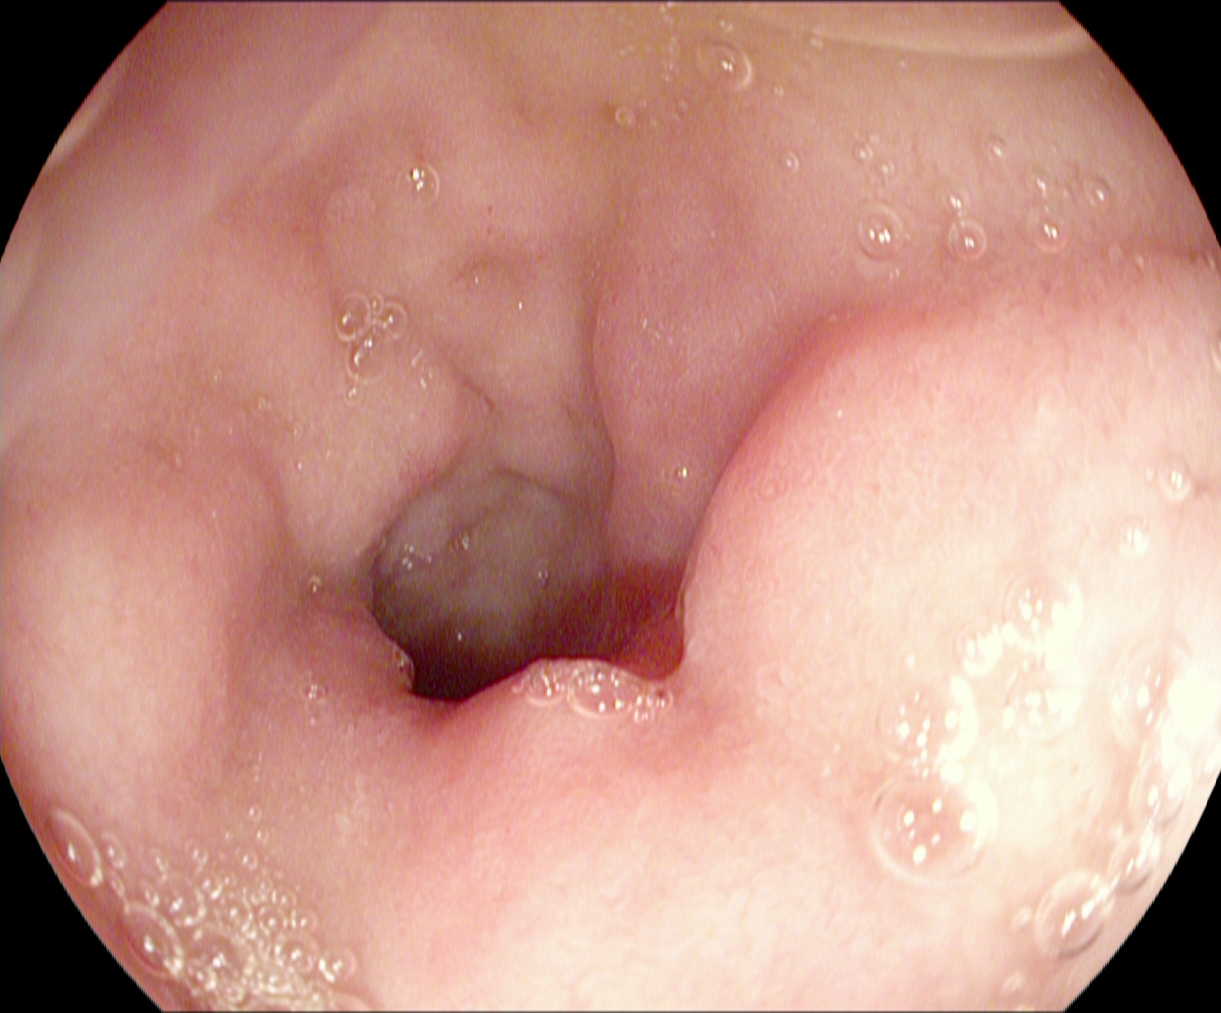Upper-GI endoscopy image of the upper GI tract showing pylorus.